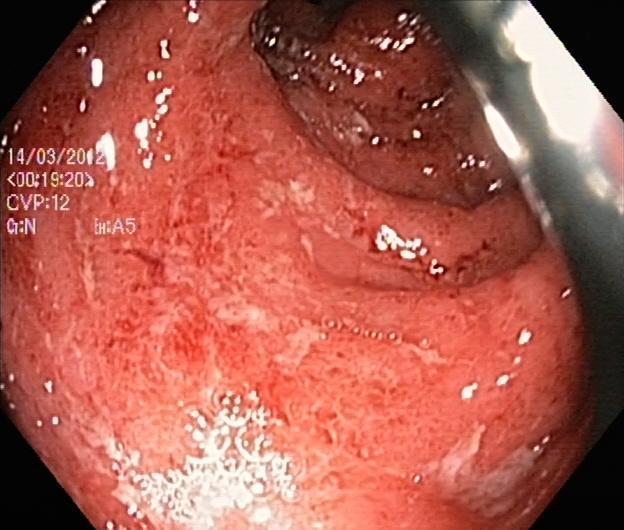This endoscopic image of the lower GI tract shows UC, Mayo endoscopic subscore 2.